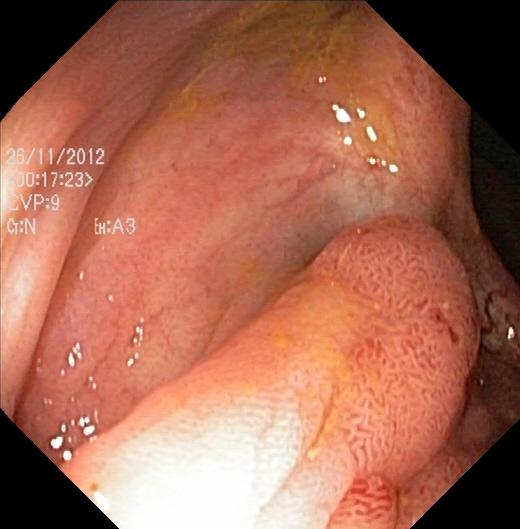This endoscopy frame of the lower GI tract shows colorectal polyp(s).